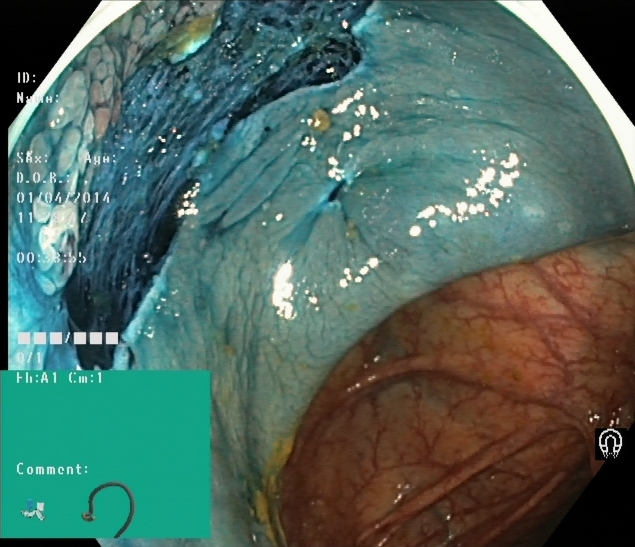{"modality": "lower gastrointestinal endoscopy", "tract": "lower GI tract", "category": "therapeutic intervention", "finding": "dyed resection margins (post-polypectomy)"}